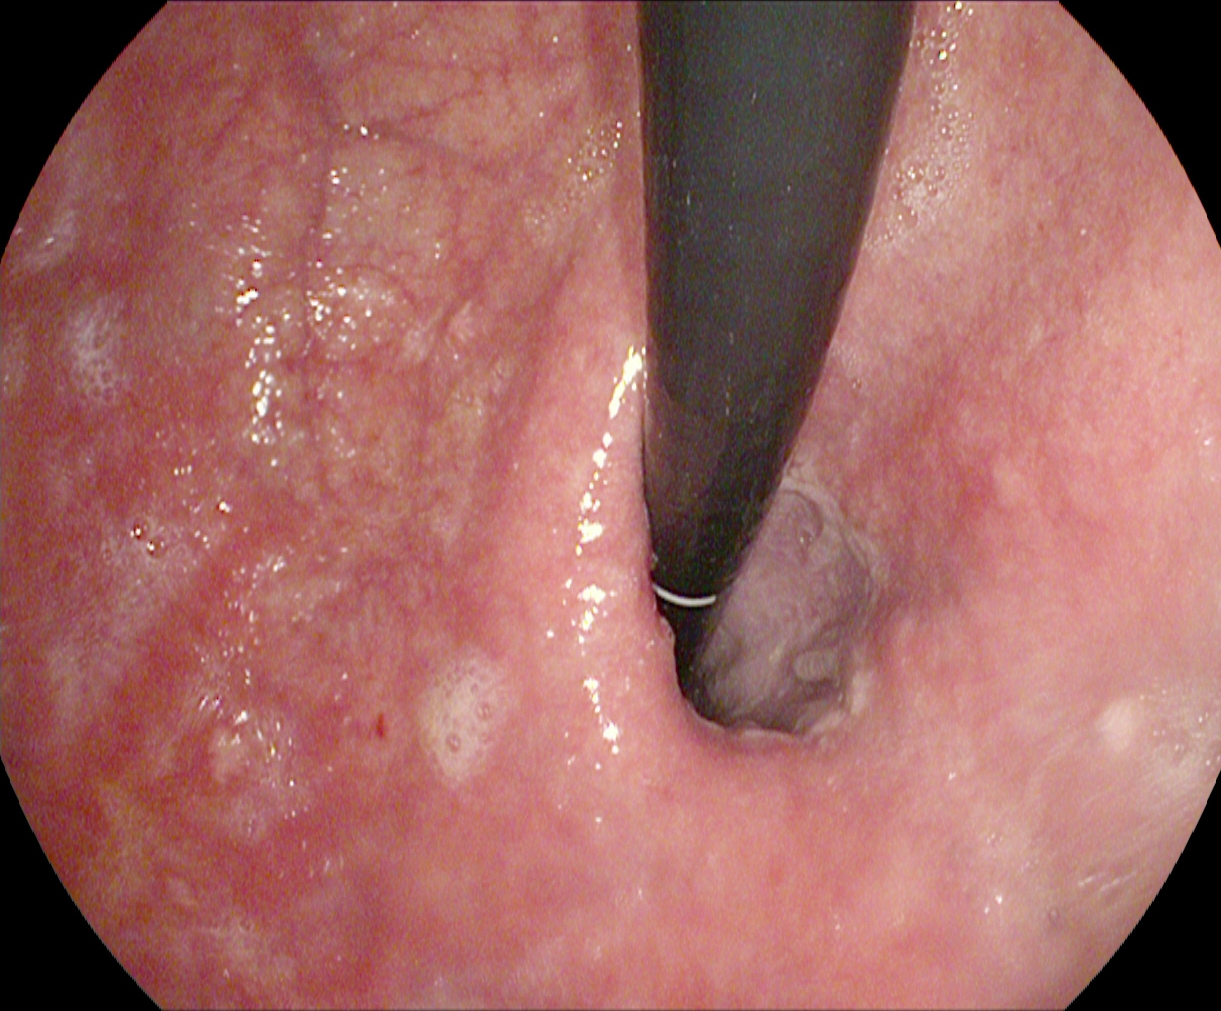modality: upper-GI endoscopy | tract: upper GI tract | finding: stomach in retroflexion